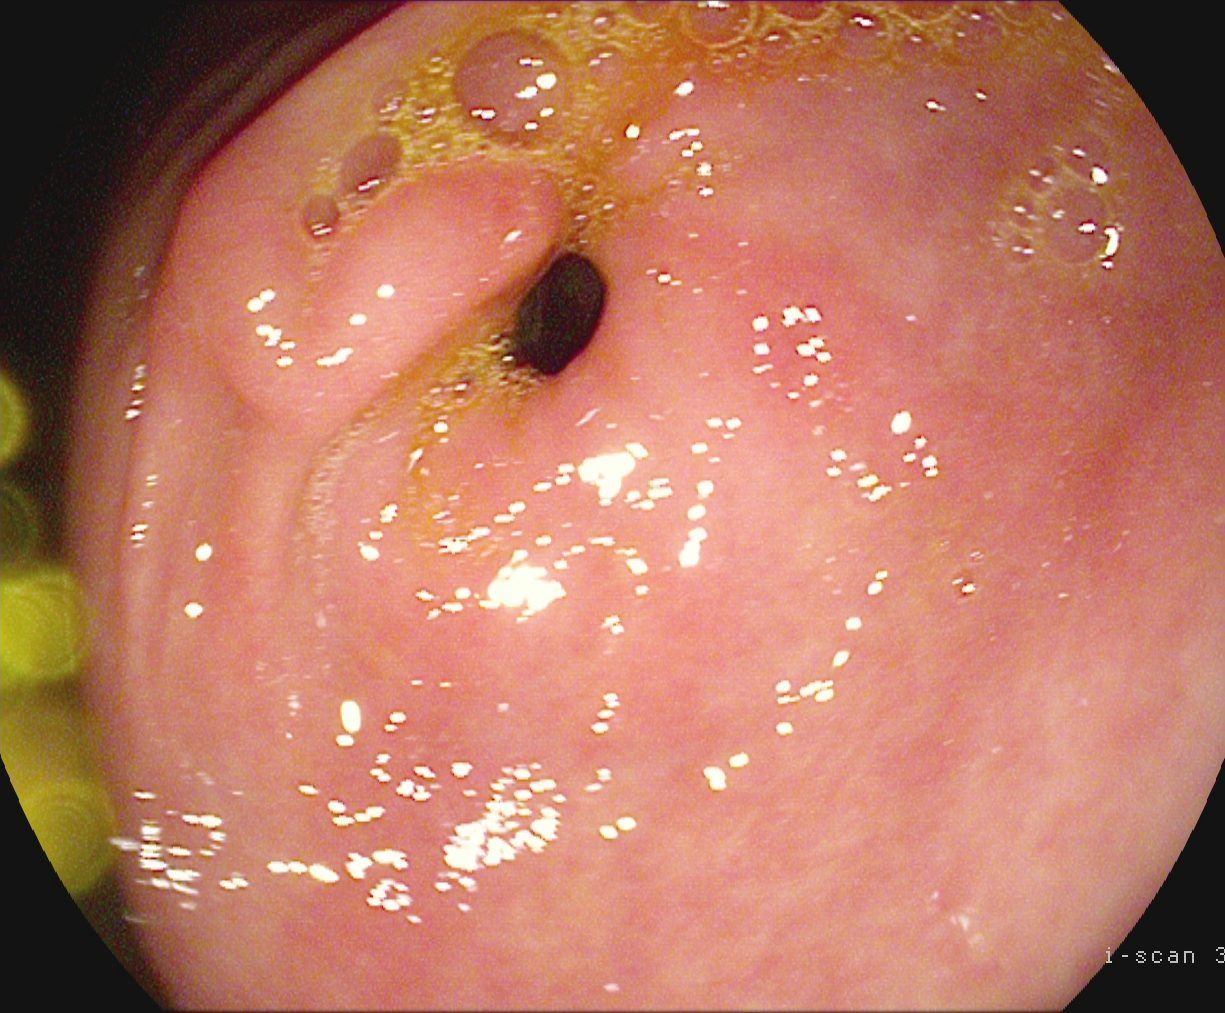Pylorus.